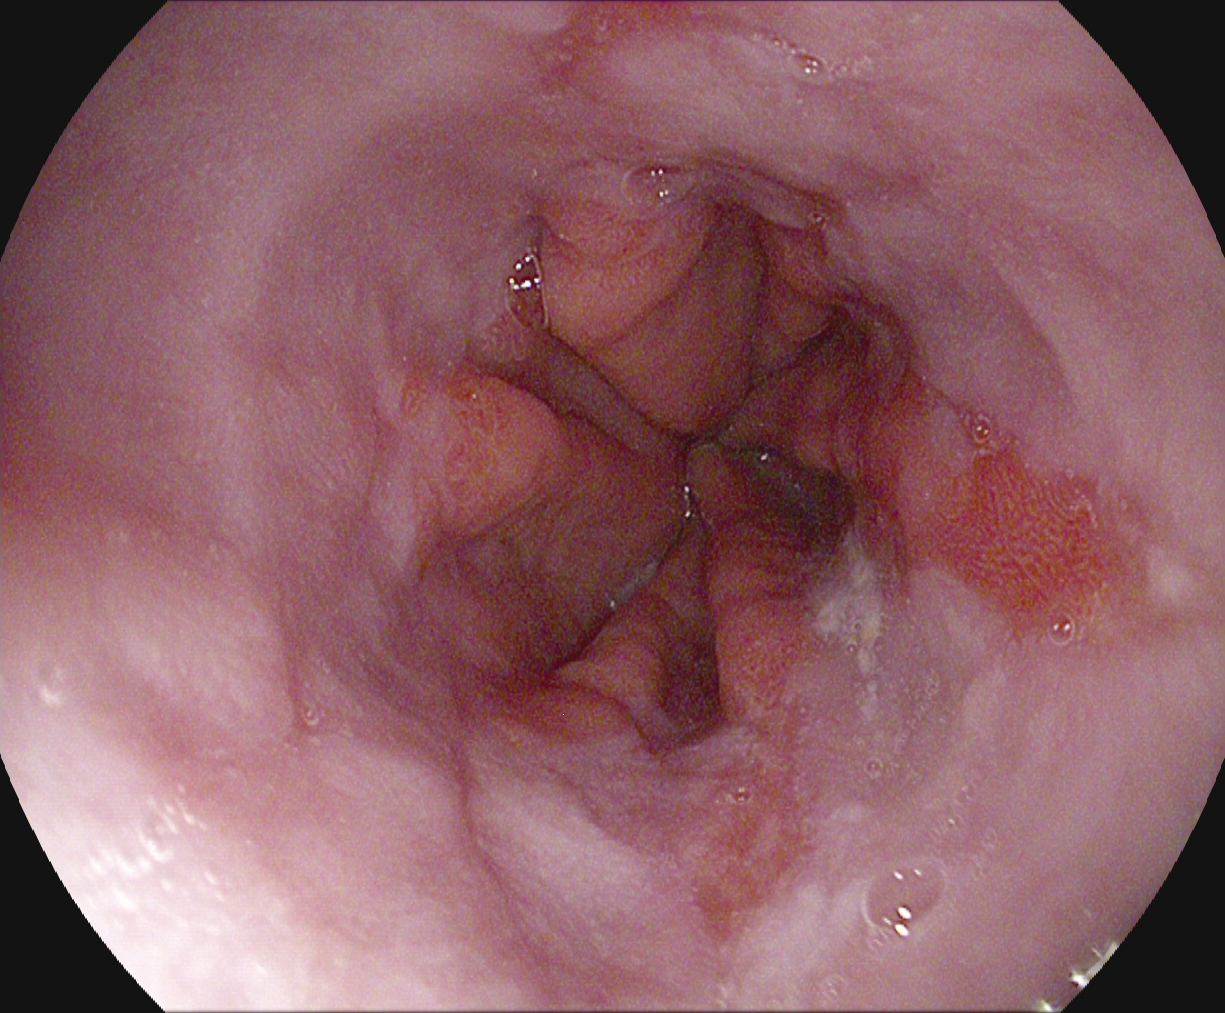{"modality": "esophagogastroduodenoscopy", "tract": "upper GI tract", "category": "pathological finding", "finding": "reflux esophagitis, Los Angeles grade B\u2013D"}